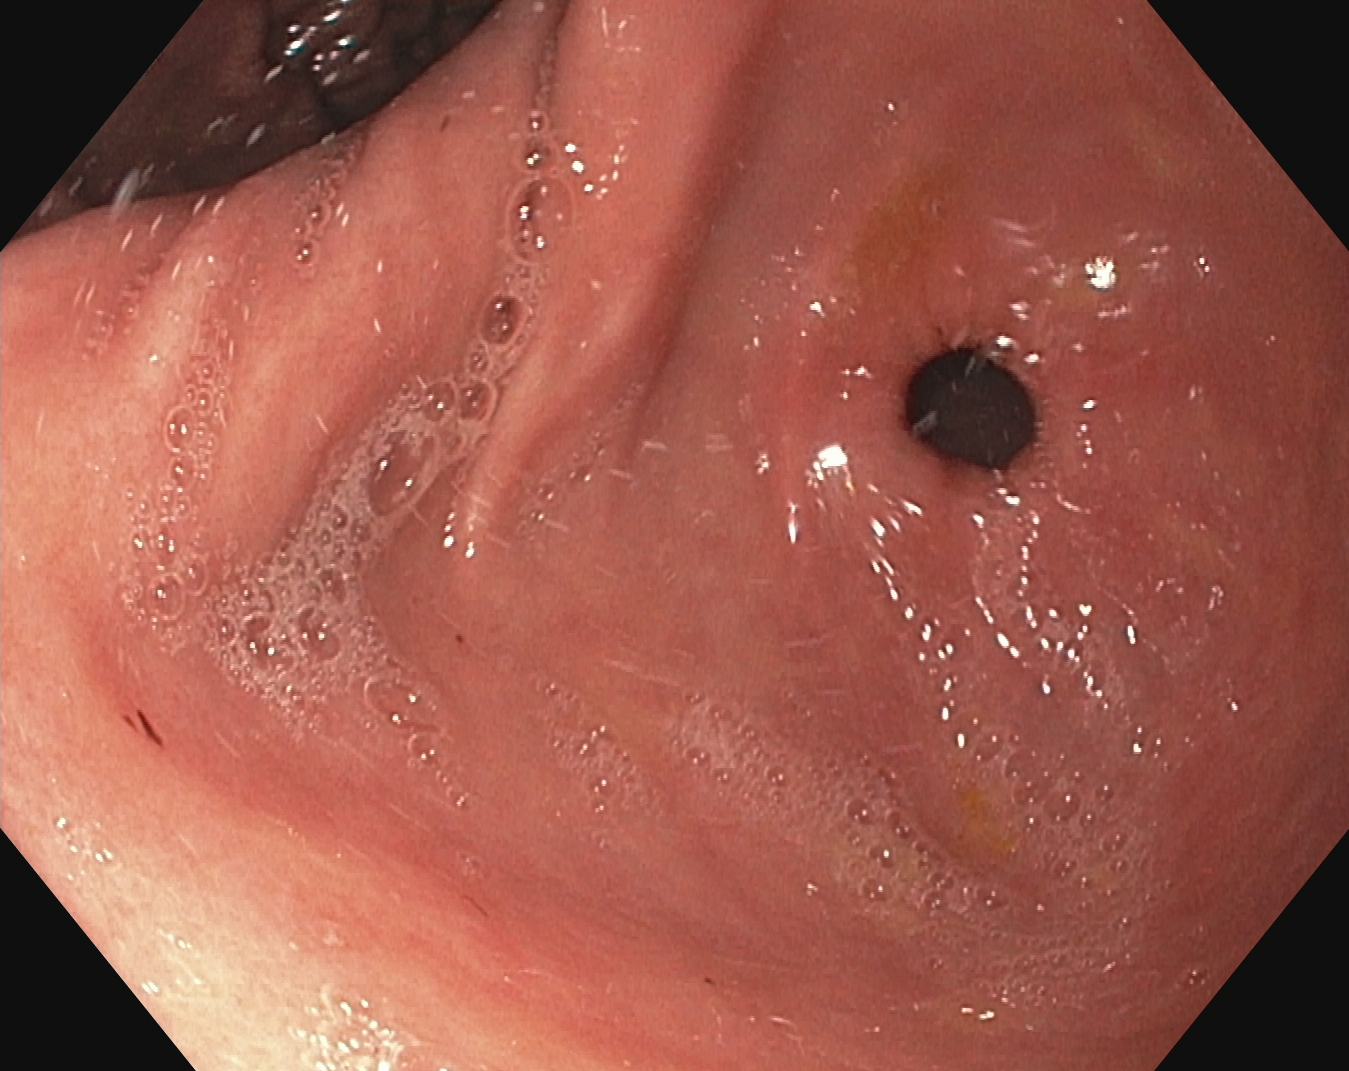EGD — pylorus.